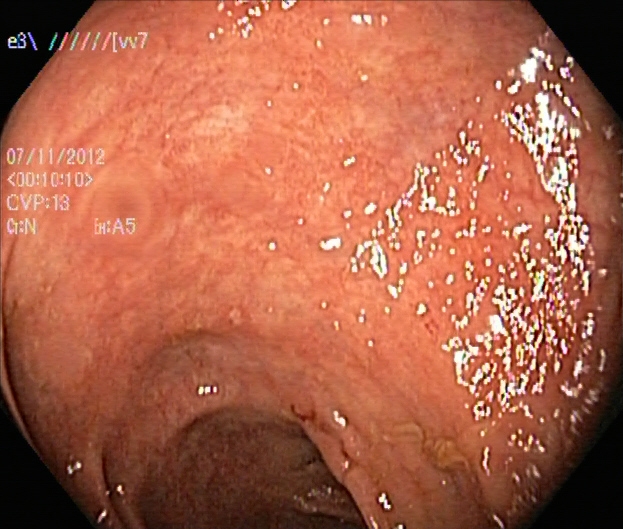{"modality": "lower-GI endoscopy", "tract": "lower GI tract", "finding": "ulcerative colitis, Mayo endoscopic subscore 1"}